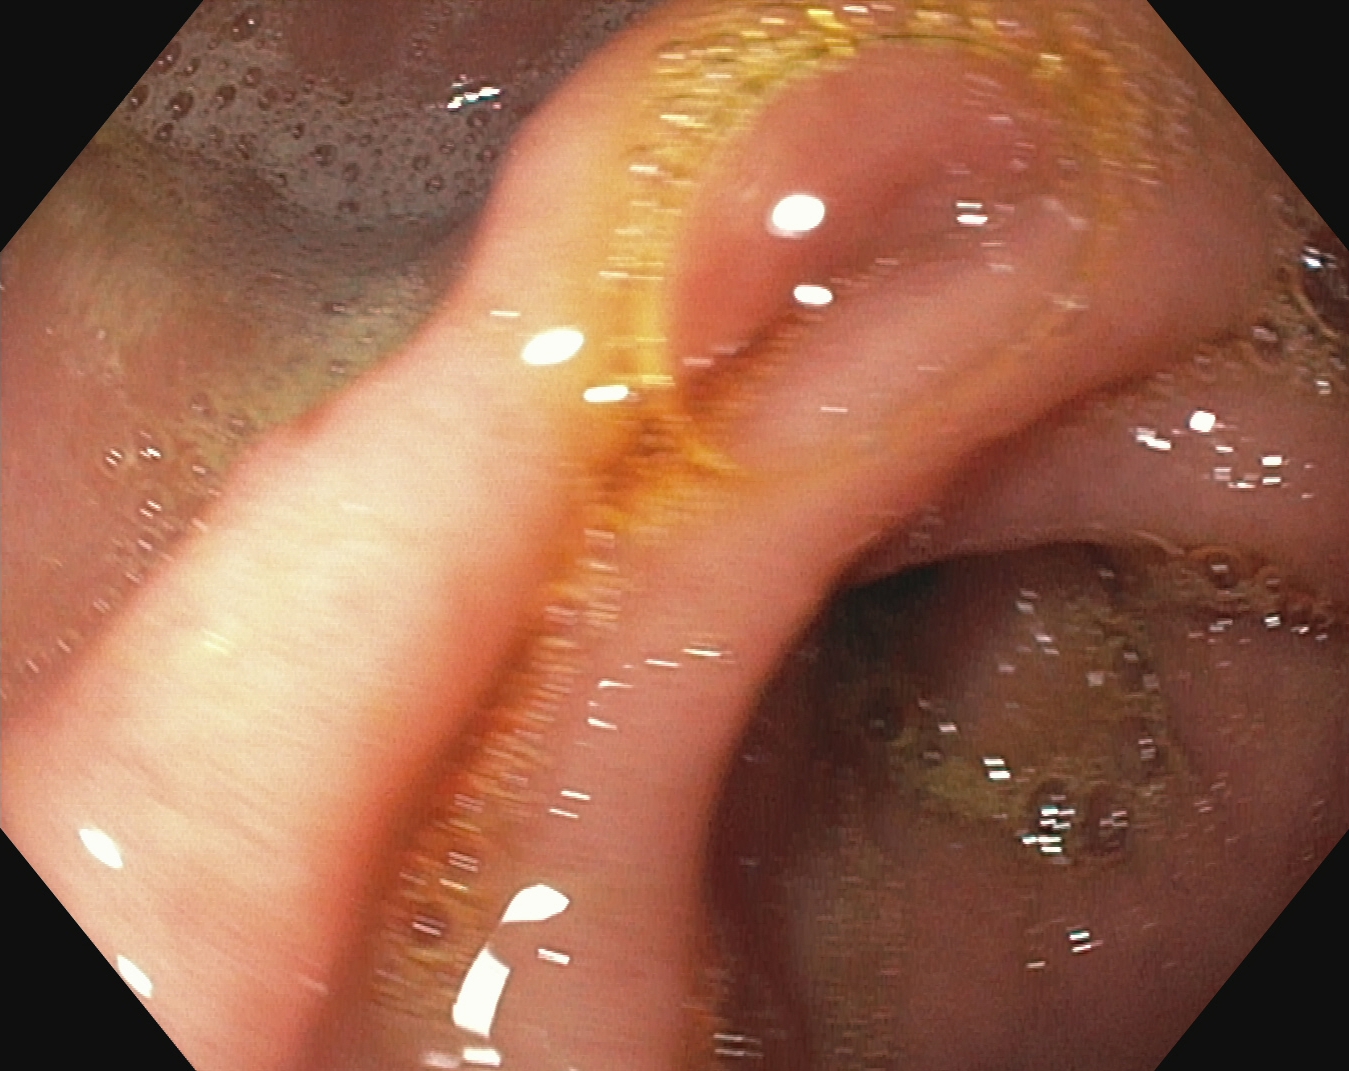PROCEDURE: Esophagogastroduodenoscopy.
FINDINGS: Pylorus.